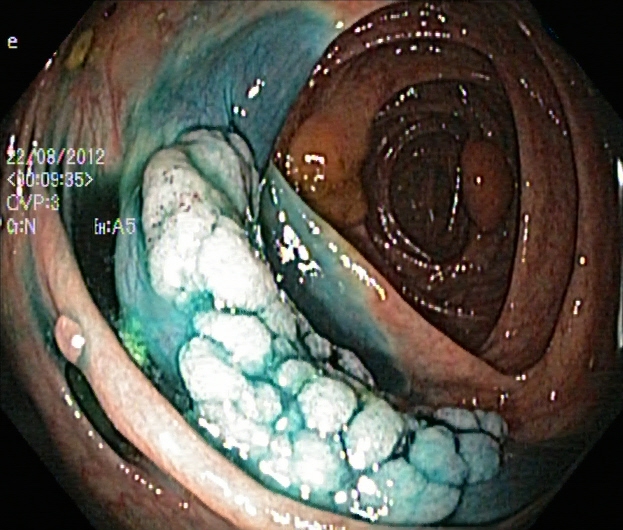Colonoscopy. Tract: lower GI tract. Finding: dyed and lifted polyp (pre-resection).